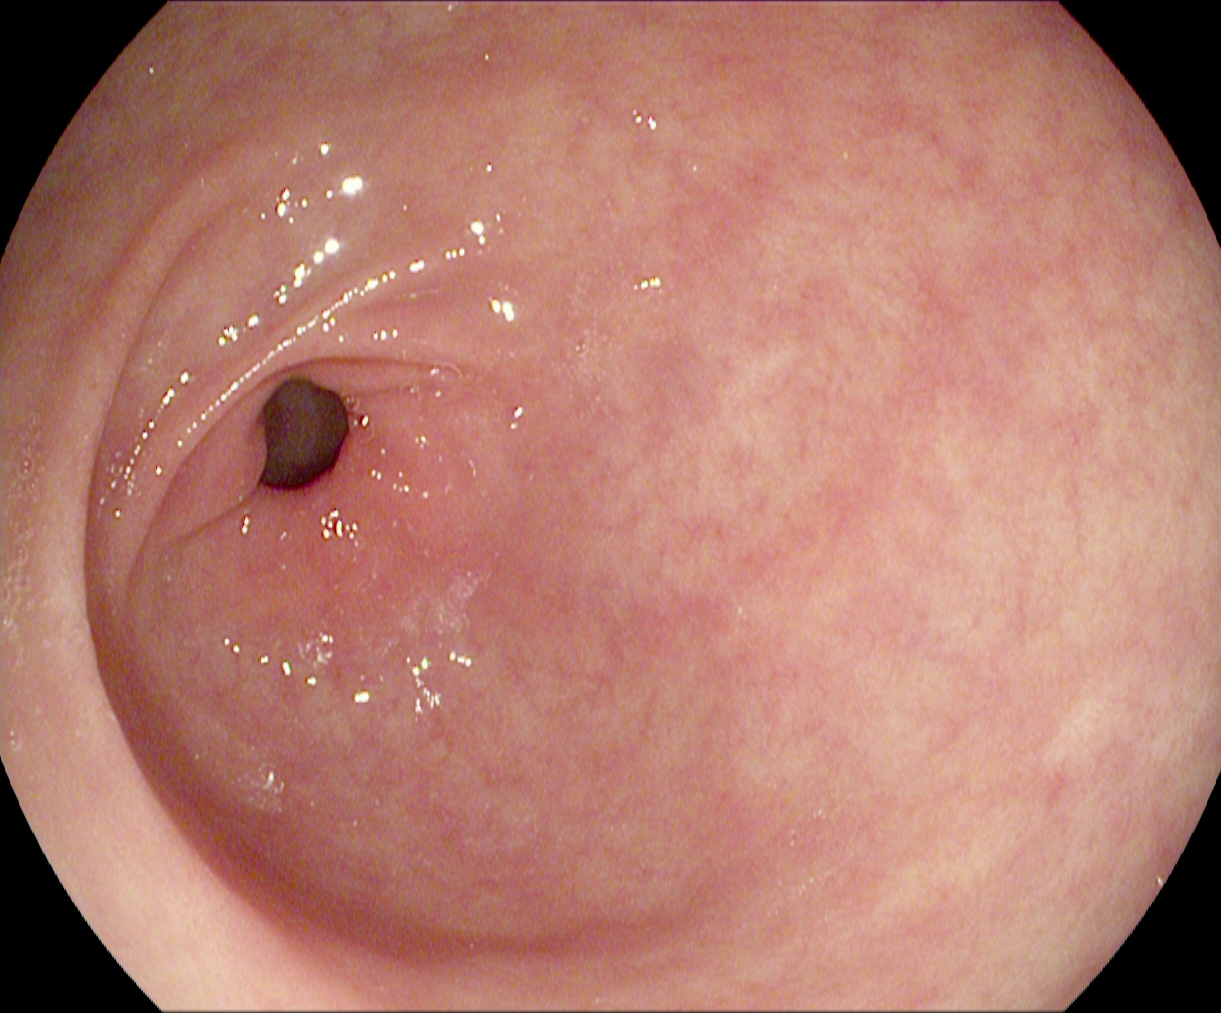Gastroscopy — pylorus.